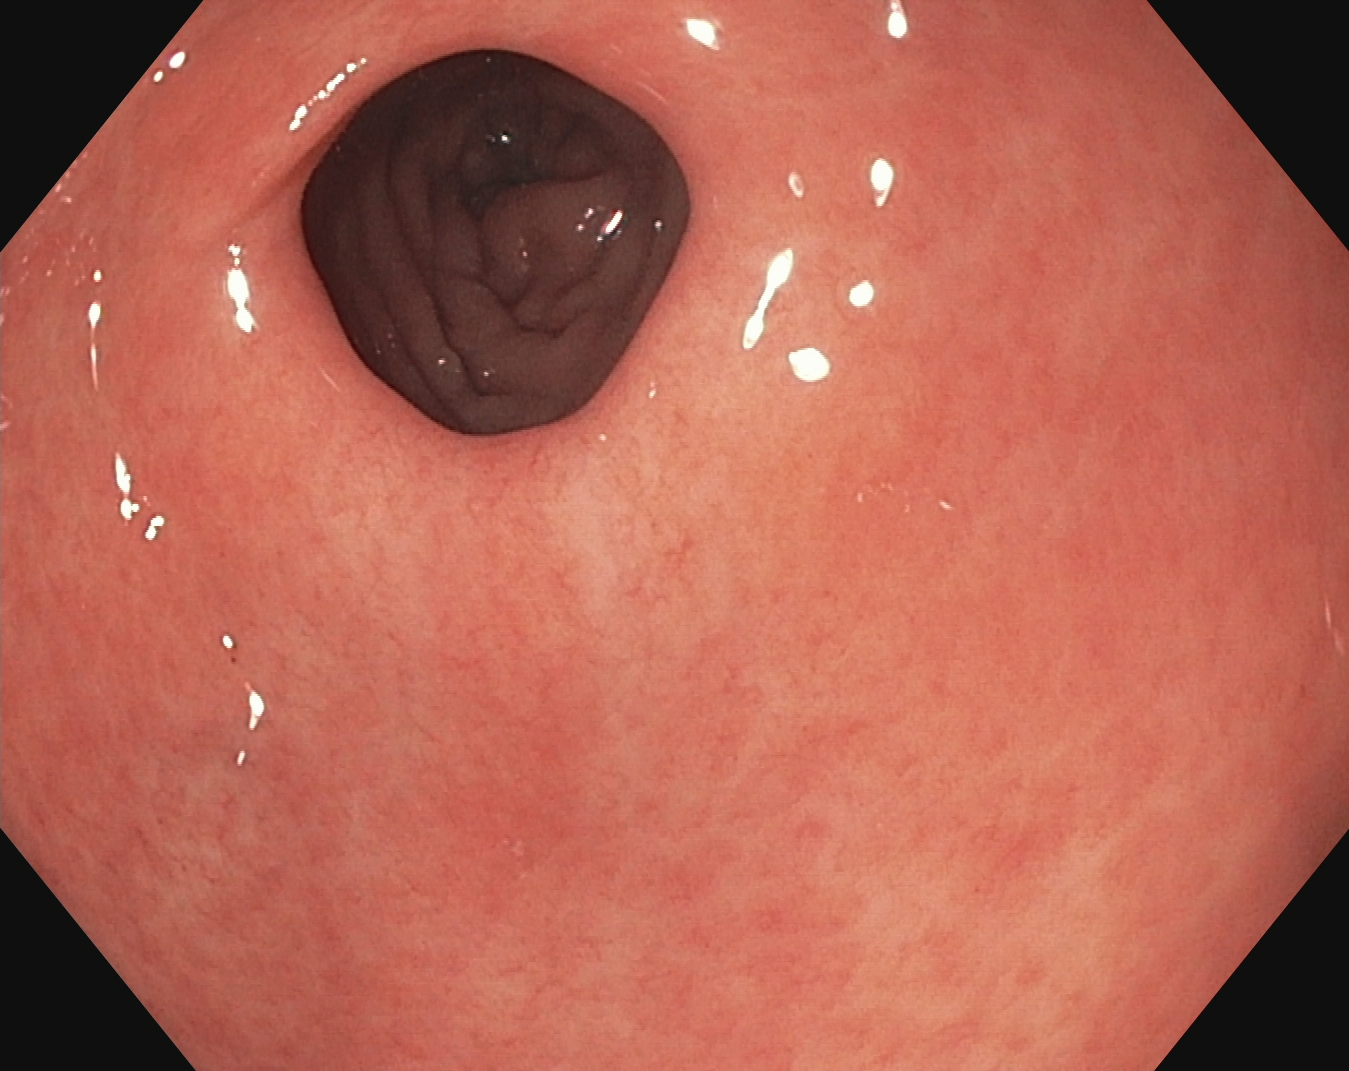PROCEDURE: Gastroscopy.
FINDINGS: Pylorus.